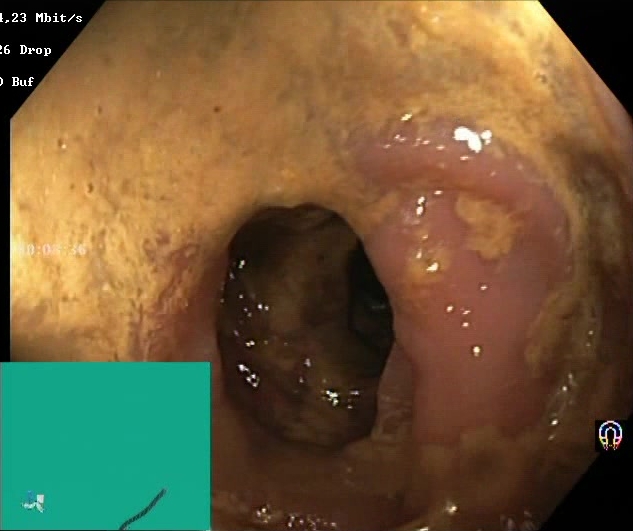{"modality": "colonoscopy", "category": "mucosal-view quality", "finding": "BBPS score 0\u20131 (inadequate preparation)"}